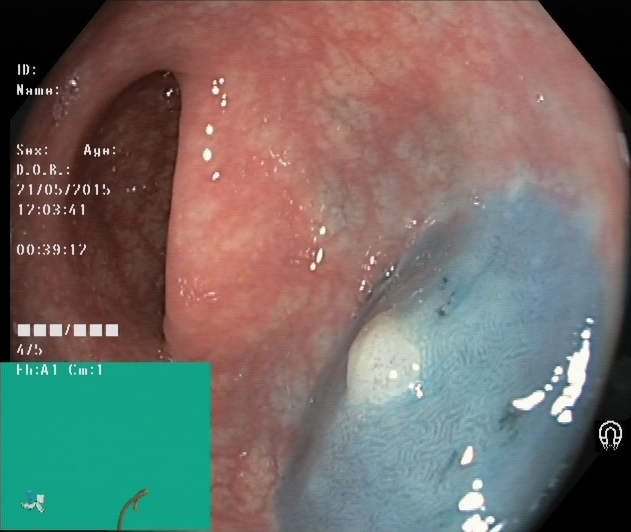PROCEDURE: Lower gastrointestinal endoscopy.
FINDINGS: Dyed and lifted polyp (pre-resection).